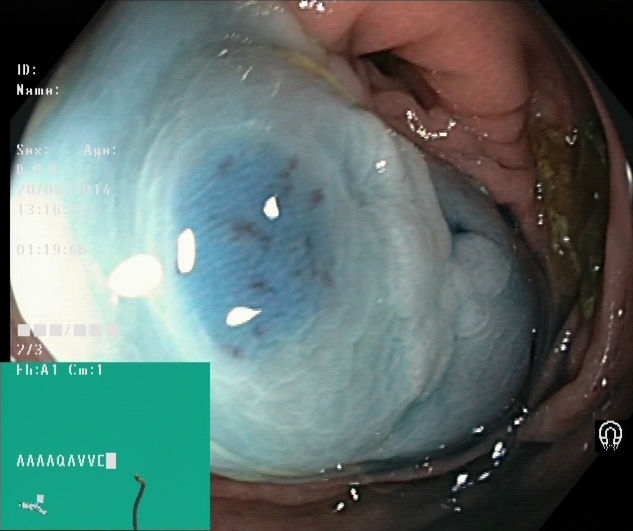Lower gastrointestinal endoscopy — dyed and lifted polyp (pre-resection).